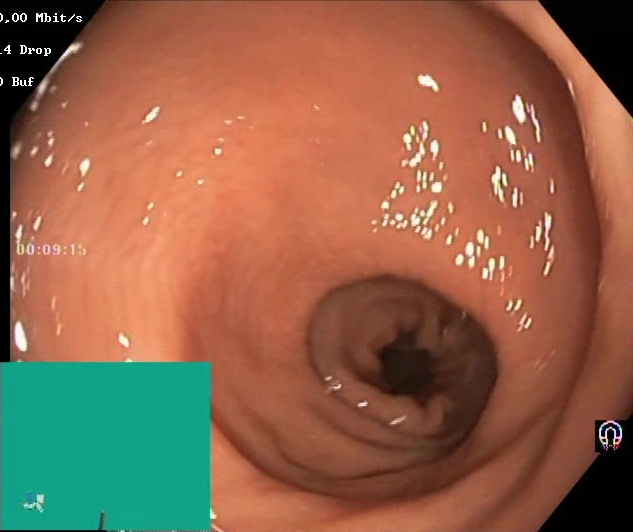modality: lower-GI endoscopy
category: mucosal-view quality
finding: Boston Bowel Preparation Scale score 2–3 (adequate preparation)